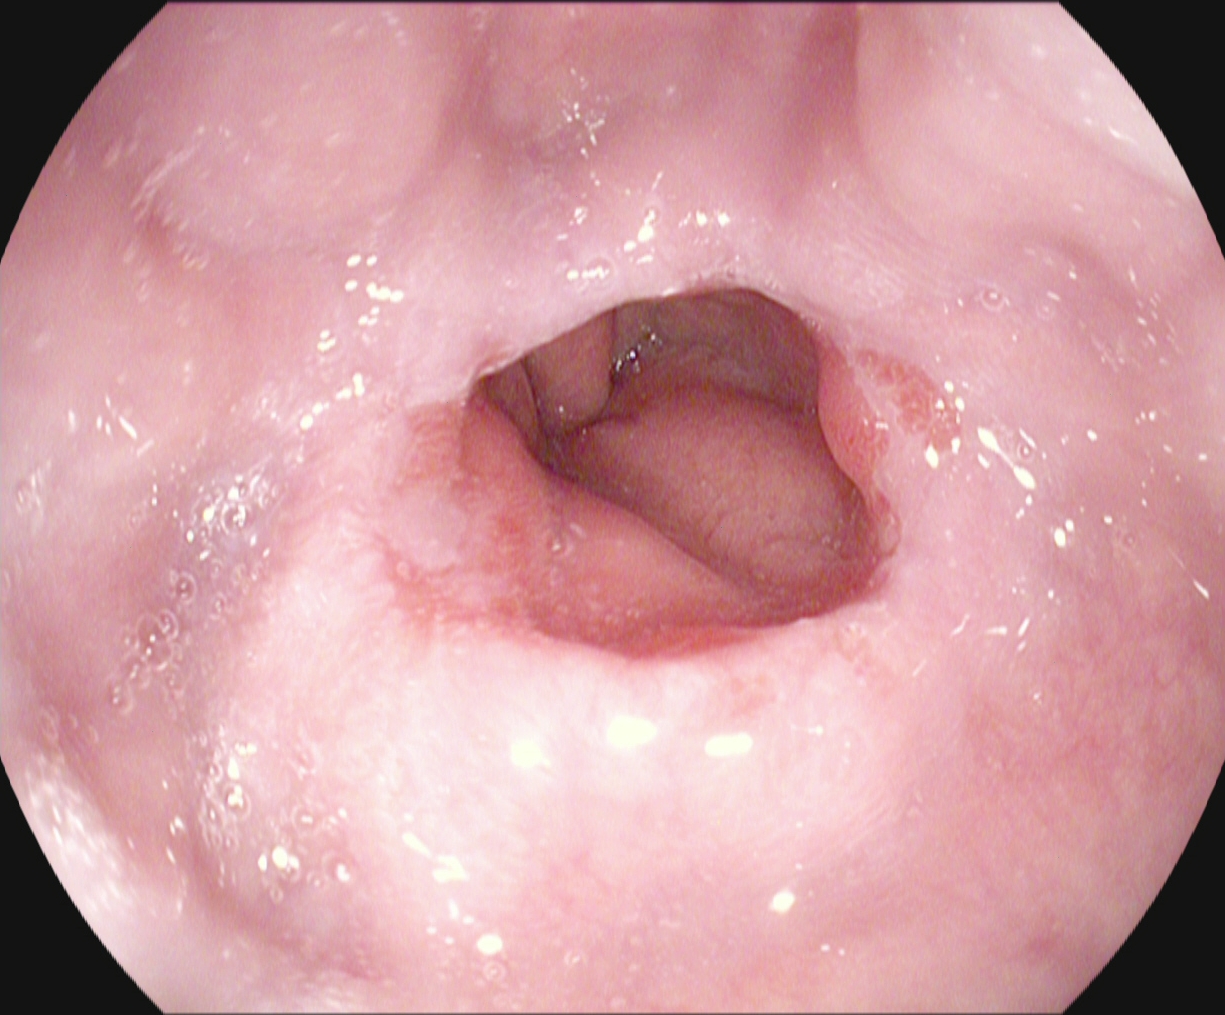reflux esophagitis, LA grade A.